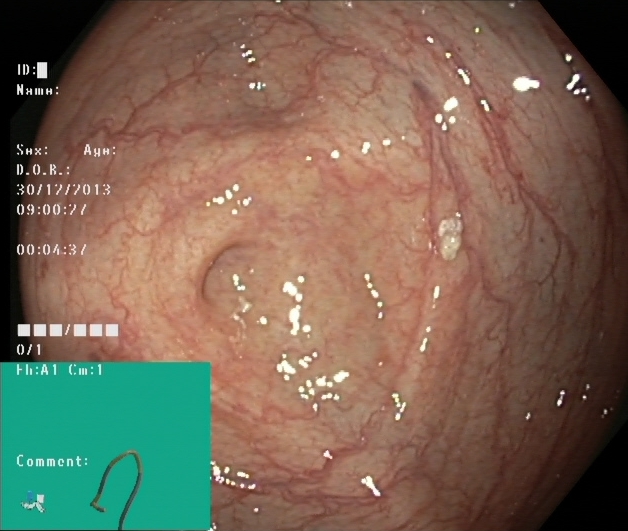Colonoscopy — cecum.